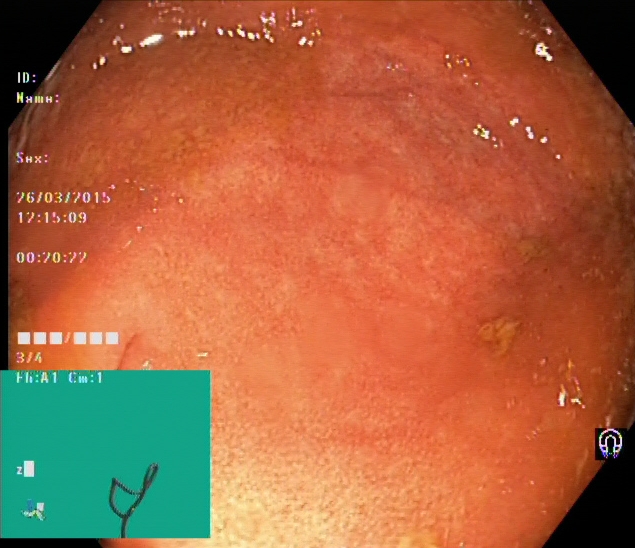Colonoscopy — ulcerative colitis, Mayo endoscopic subscore 2.